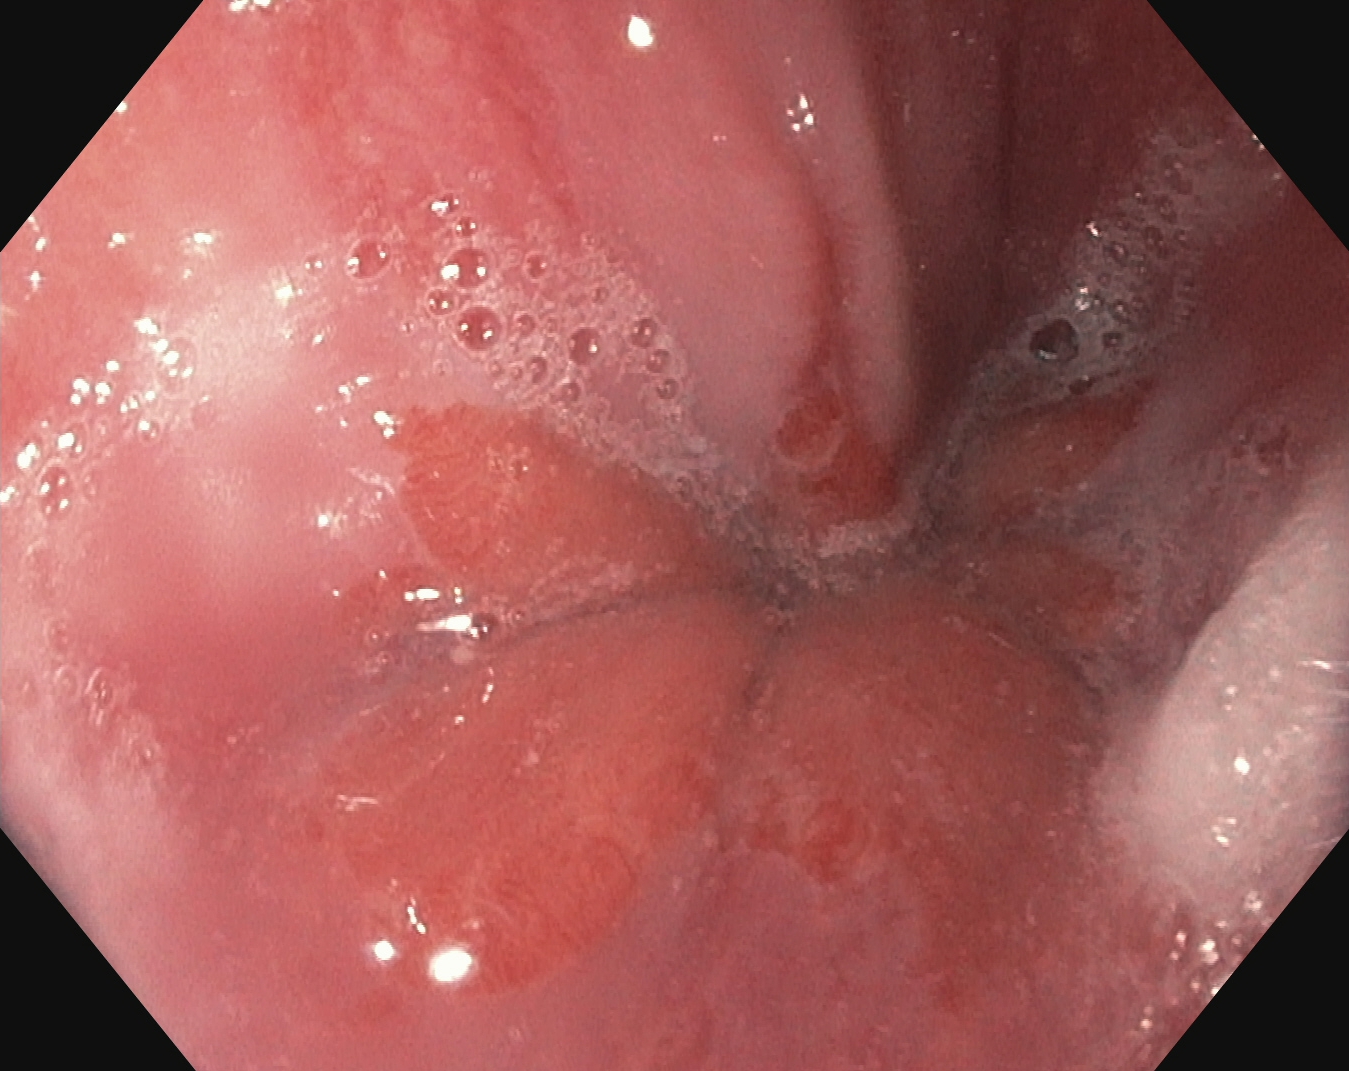Z-line (gastroesophageal junction).